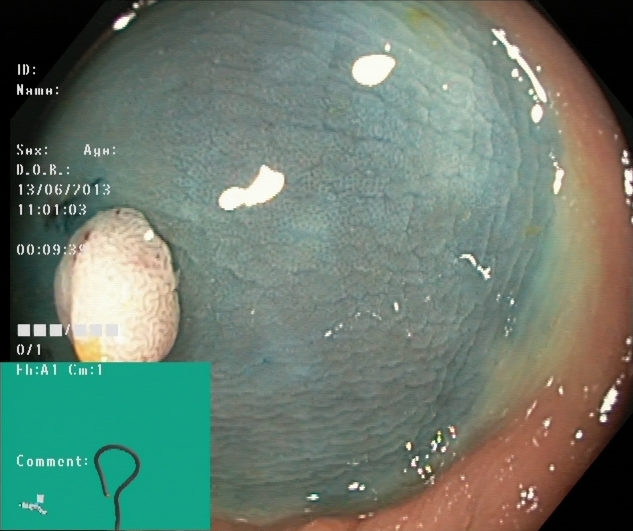{"modality": "colonoscopy", "tract": "lower GI tract", "category": "therapeutic intervention", "finding": "dyed and lifted polyp (pre-resection)"}